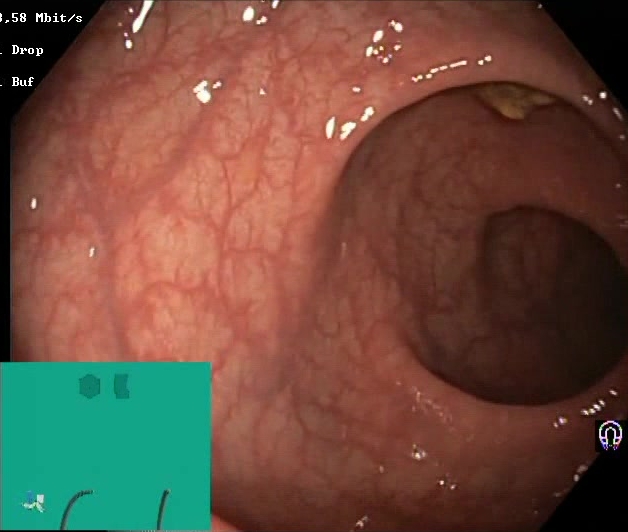modality: lower-GI endoscopy; tract: lower GI tract; finding: Boston Bowel Preparation Scale score 2–3 (adequate preparation)